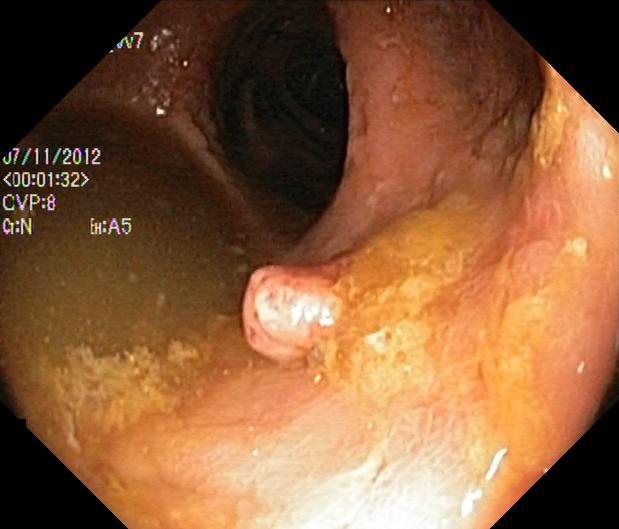Colorectal polyp(s).